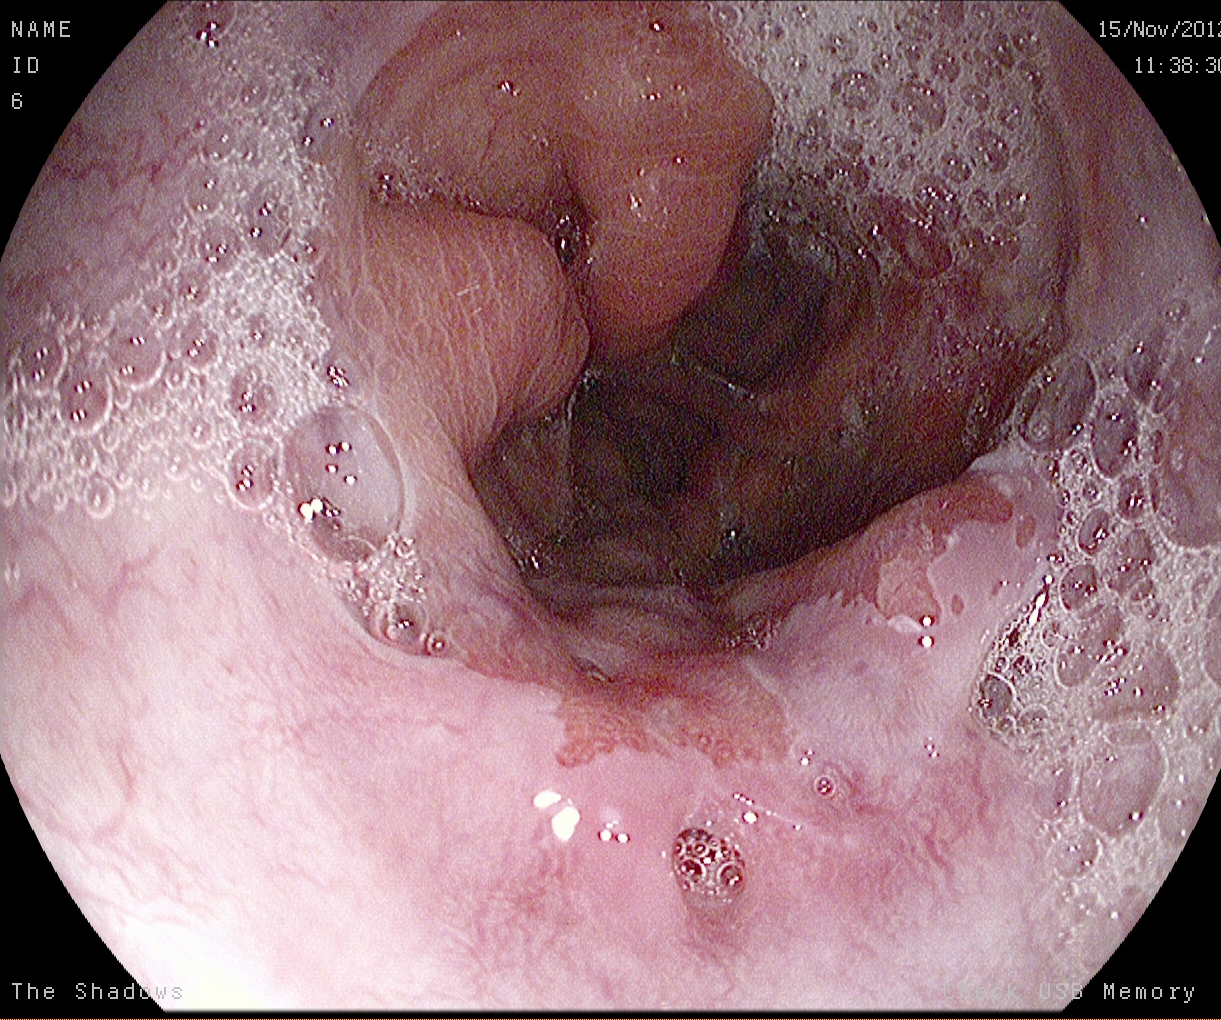Gastroscopy. Tract: upper GI tract. Finding: Z-line (gastroesophageal junction).